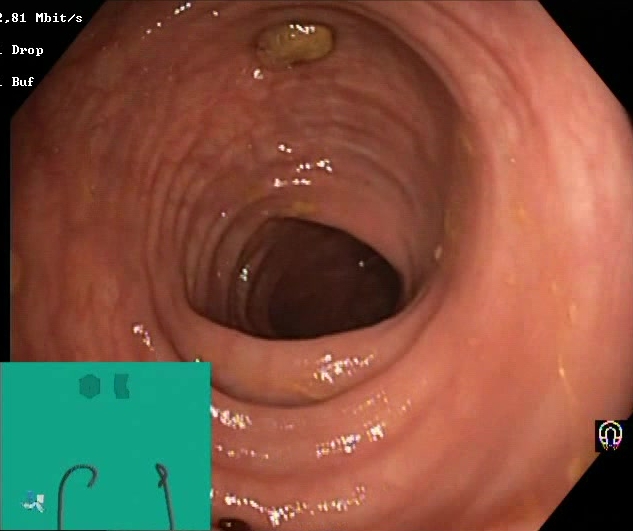Lower-GI endoscopy. Finding: Boston Bowel Preparation Scale score 2–3 (adequate preparation).